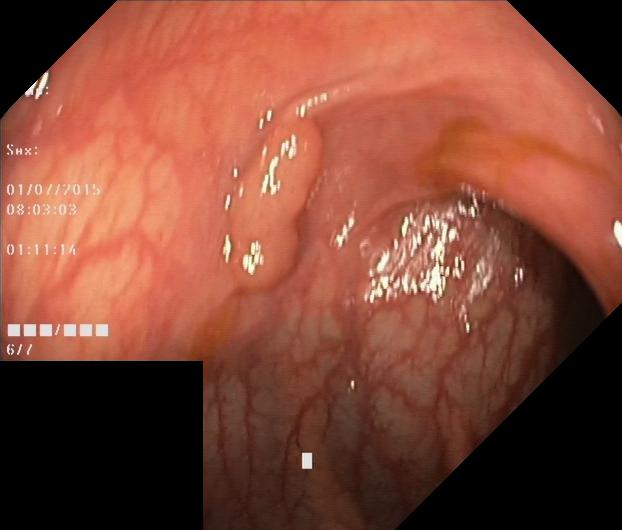This endoscopy frame shows colorectal polyp(s).